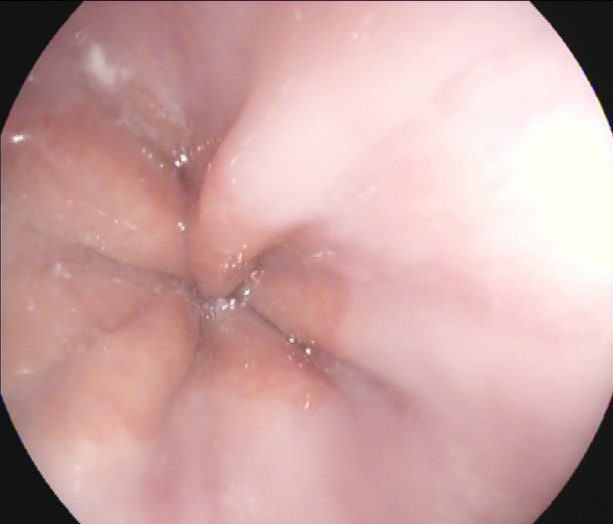Z-line (gastroesophageal junction).